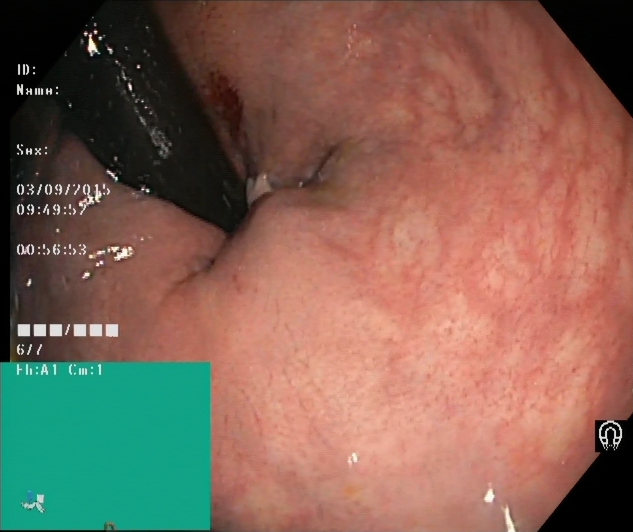modality: colonoscopy | tract: lower GI tract | finding: rectum in retroflexion